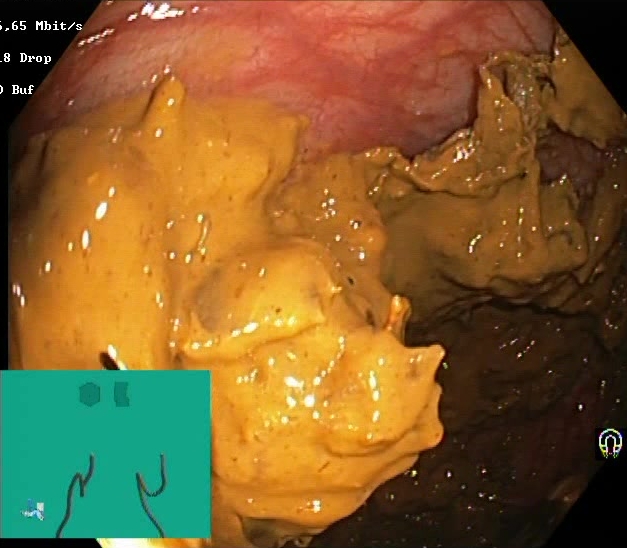{"modality": "lower gastrointestinal endoscopy", "tract": "lower GI tract", "finding": "Boston Bowel Preparation Scale score 0\u20131 (inadequate preparation)"}